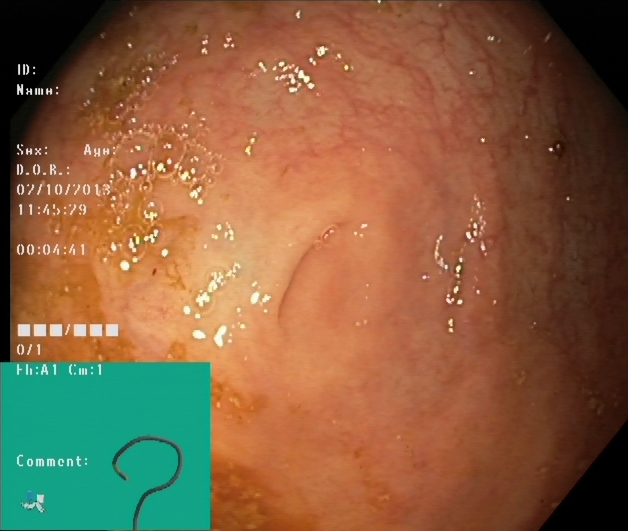This endoscopic image of the lower GI tract shows cecum.